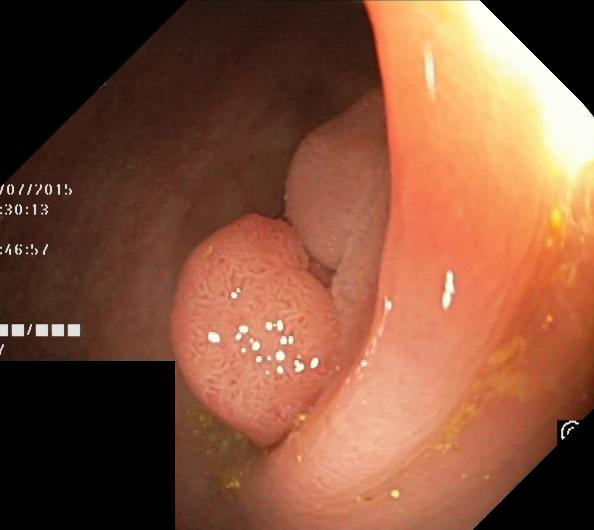This endoscopy frame shows colorectal polyp(s).